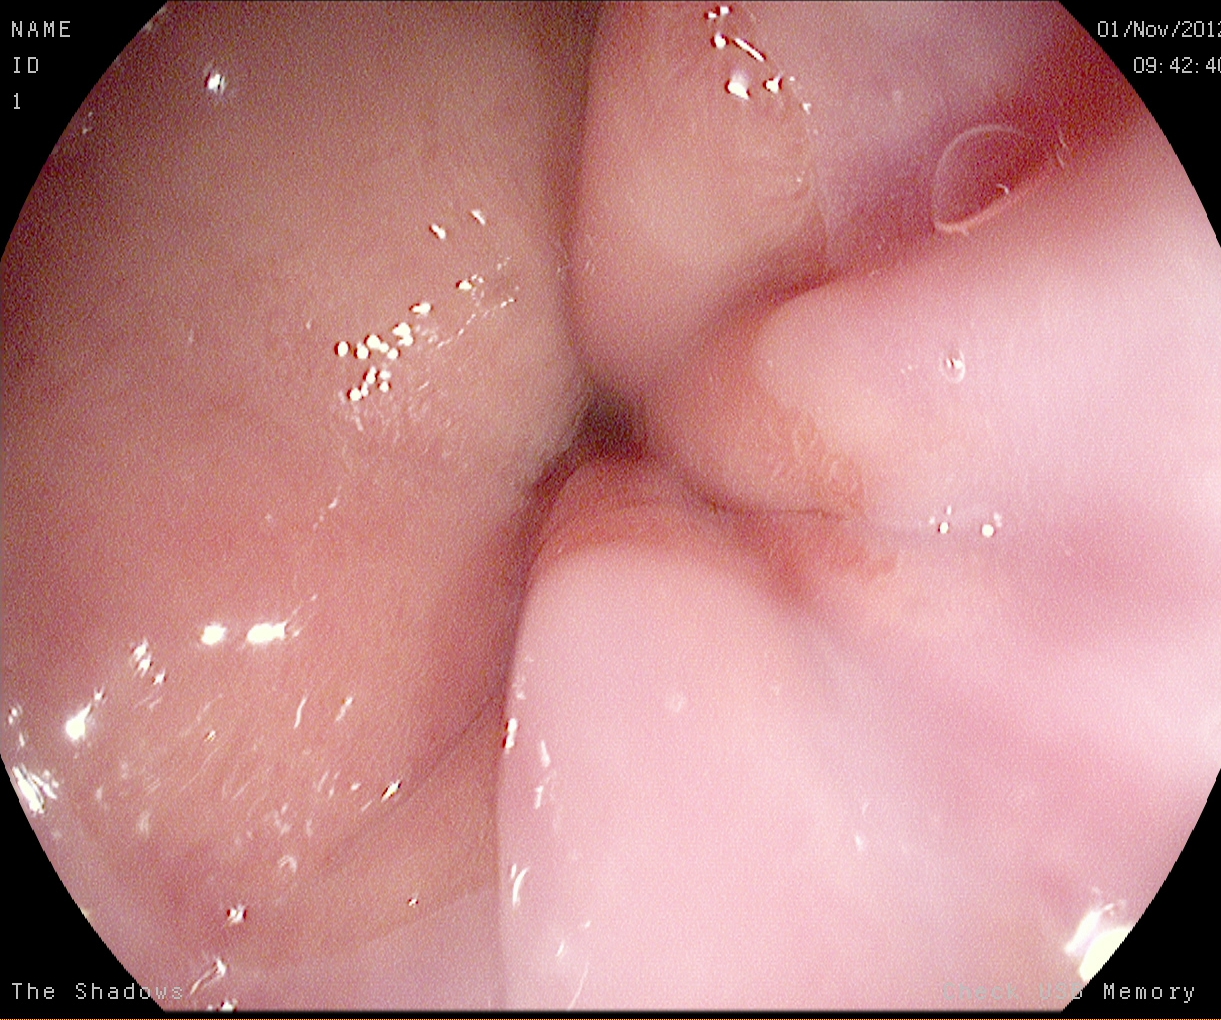PROCEDURE: Gastroscopy.
CATEGORY: Anatomical landmark.
FINDINGS: Z-line (gastroesophageal junction).